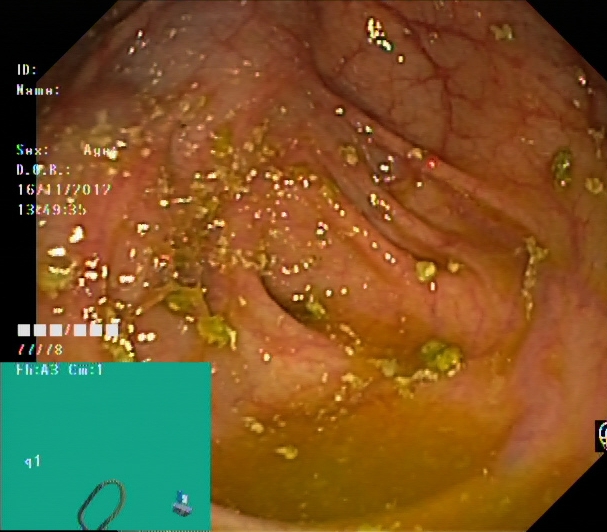This endoscopic image shows cecum.